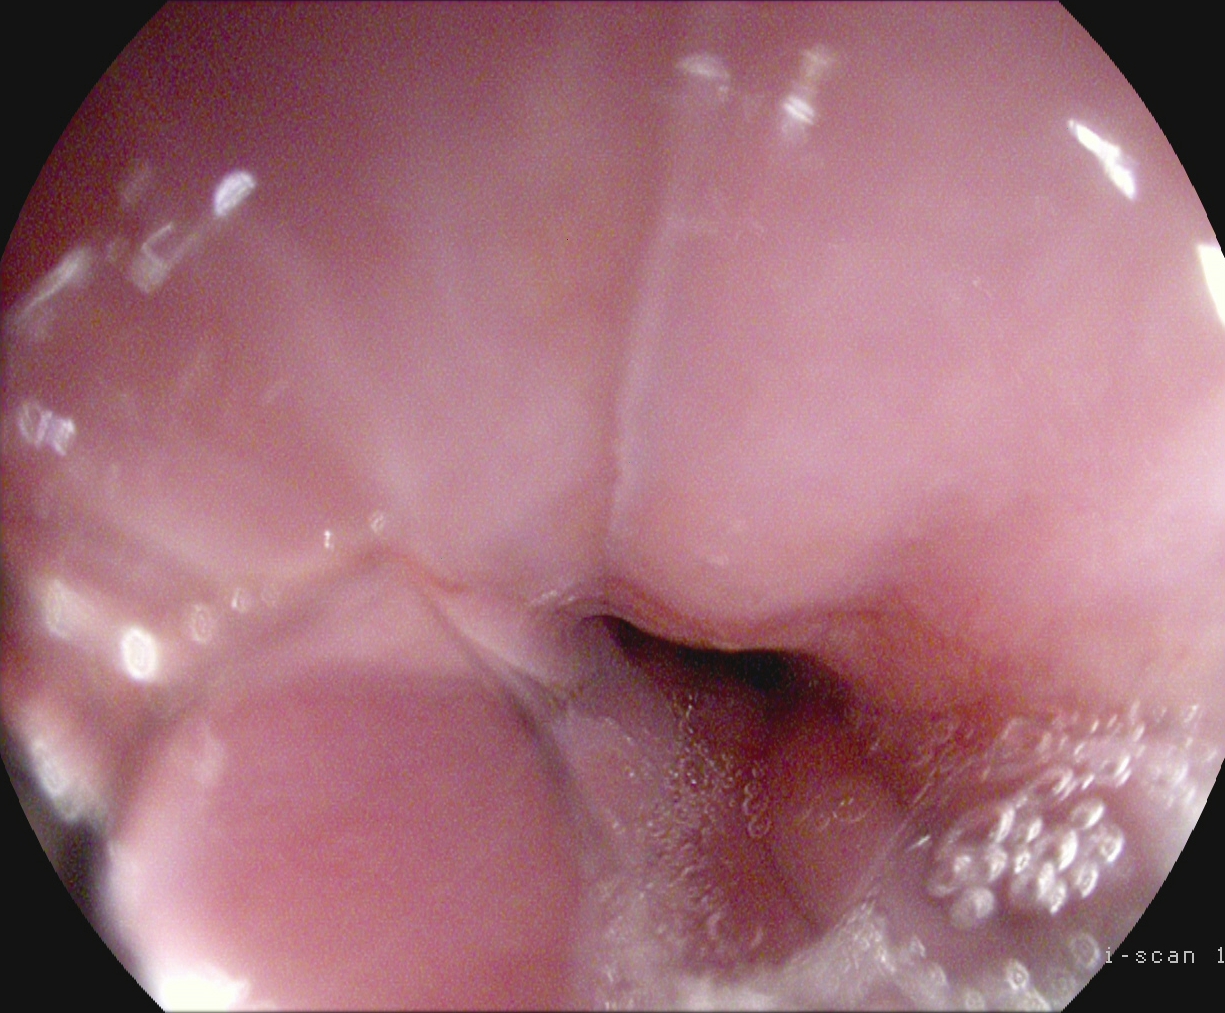PROCEDURE: Esophagogastroduodenoscopy.
CATEGORY: Anatomical landmark.
FINDINGS: Z-line (gastroesophageal junction).